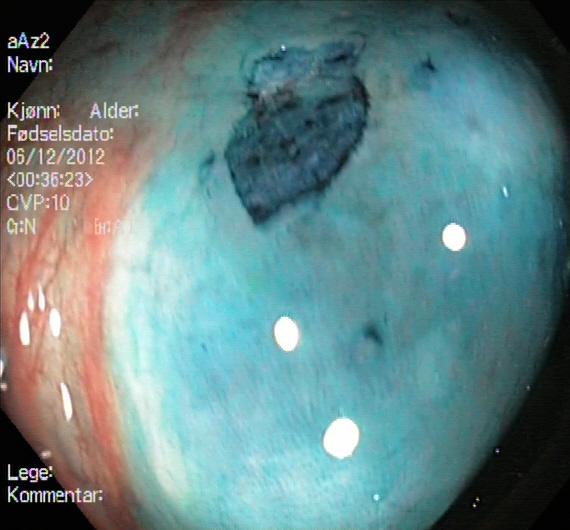modality: lower gastrointestinal endoscopy | tract: lower GI tract | category: therapeutic intervention | finding: dyed resection margins (post-polypectomy)